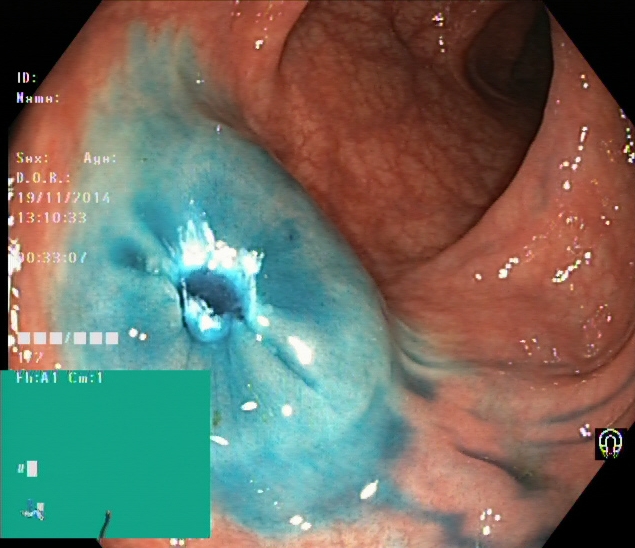modality: colonoscopy | tract: lower GI tract | finding: dyed resection margins (post-polypectomy)